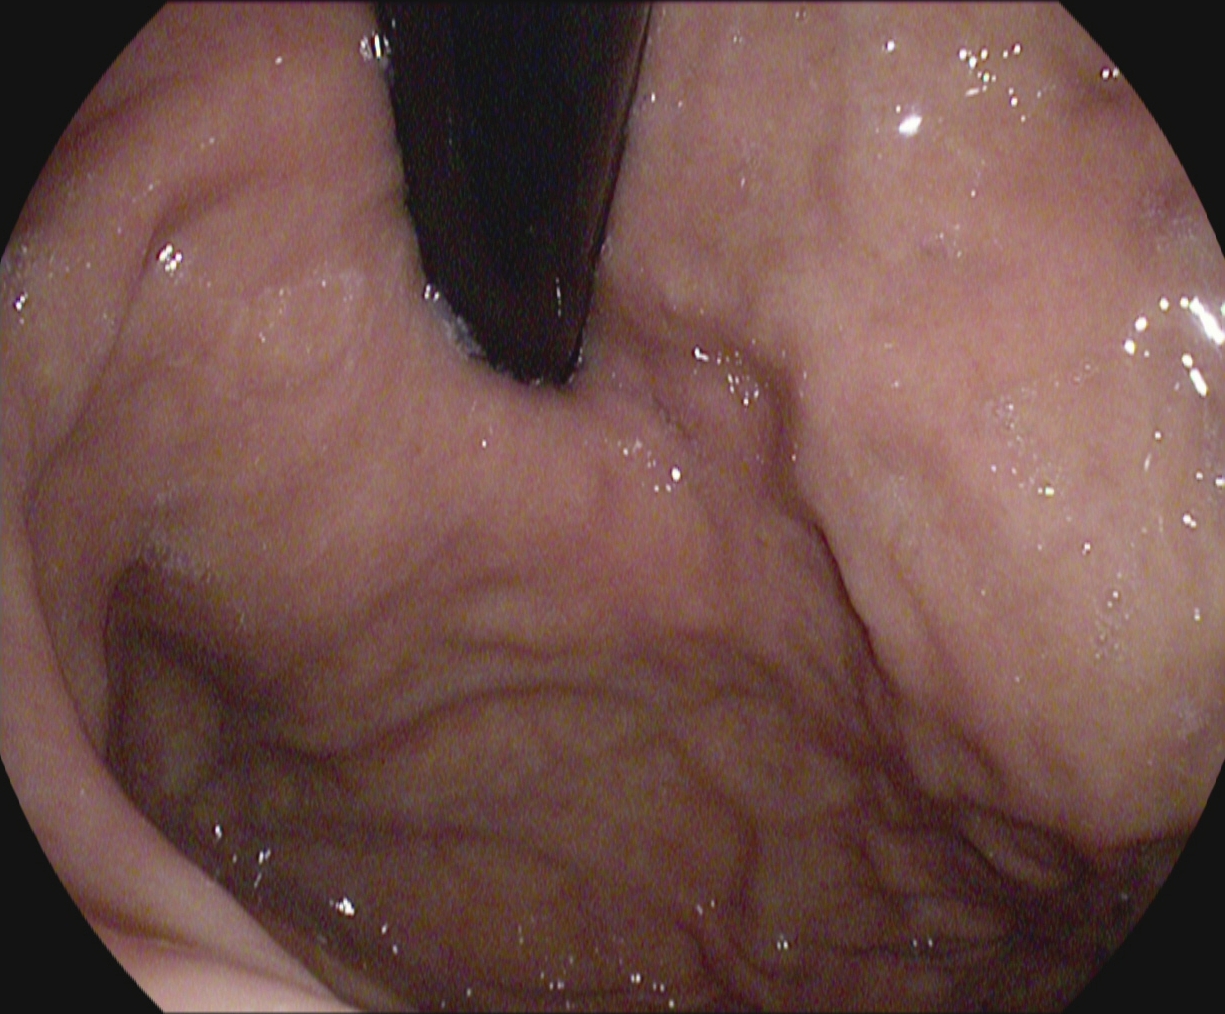Gastrointestinal endoscopy image of the upper GI tract showing stomach in retroflexion.